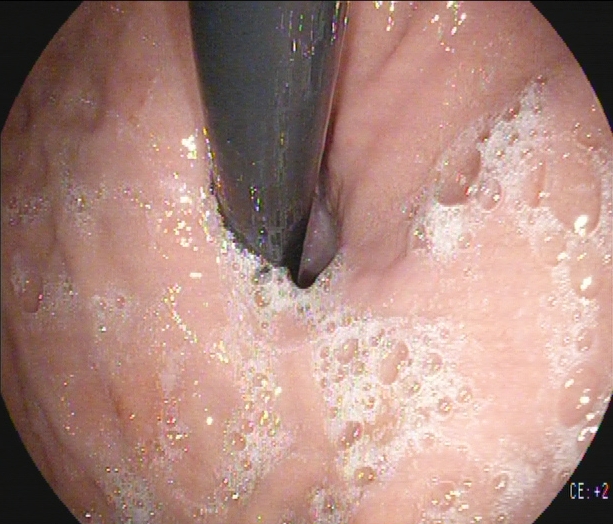{"modality": "gastroscopy", "finding": "stomach in retroflexion"}